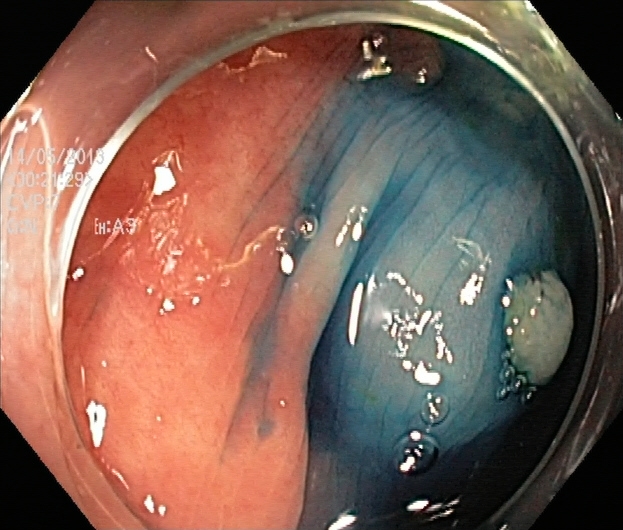This endoscopic image of the lower GI tract shows dyed and lifted polyp (pre-resection).